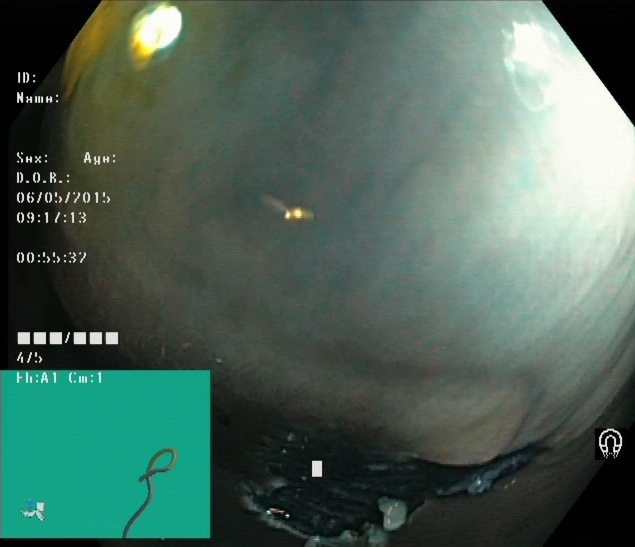{"modality": "lower-GI endoscopy", "finding": "dyed resection margins (post-polypectomy)"}